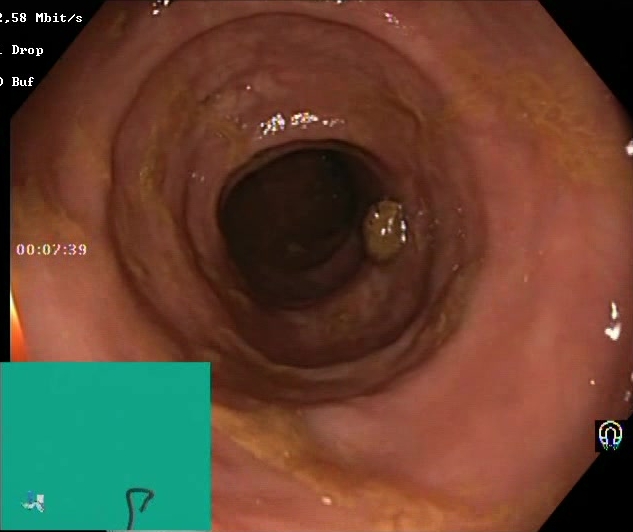Lower-GI endoscopy. Tract: lower GI tract. Finding: BBPS score 2–3 (adequate preparation).